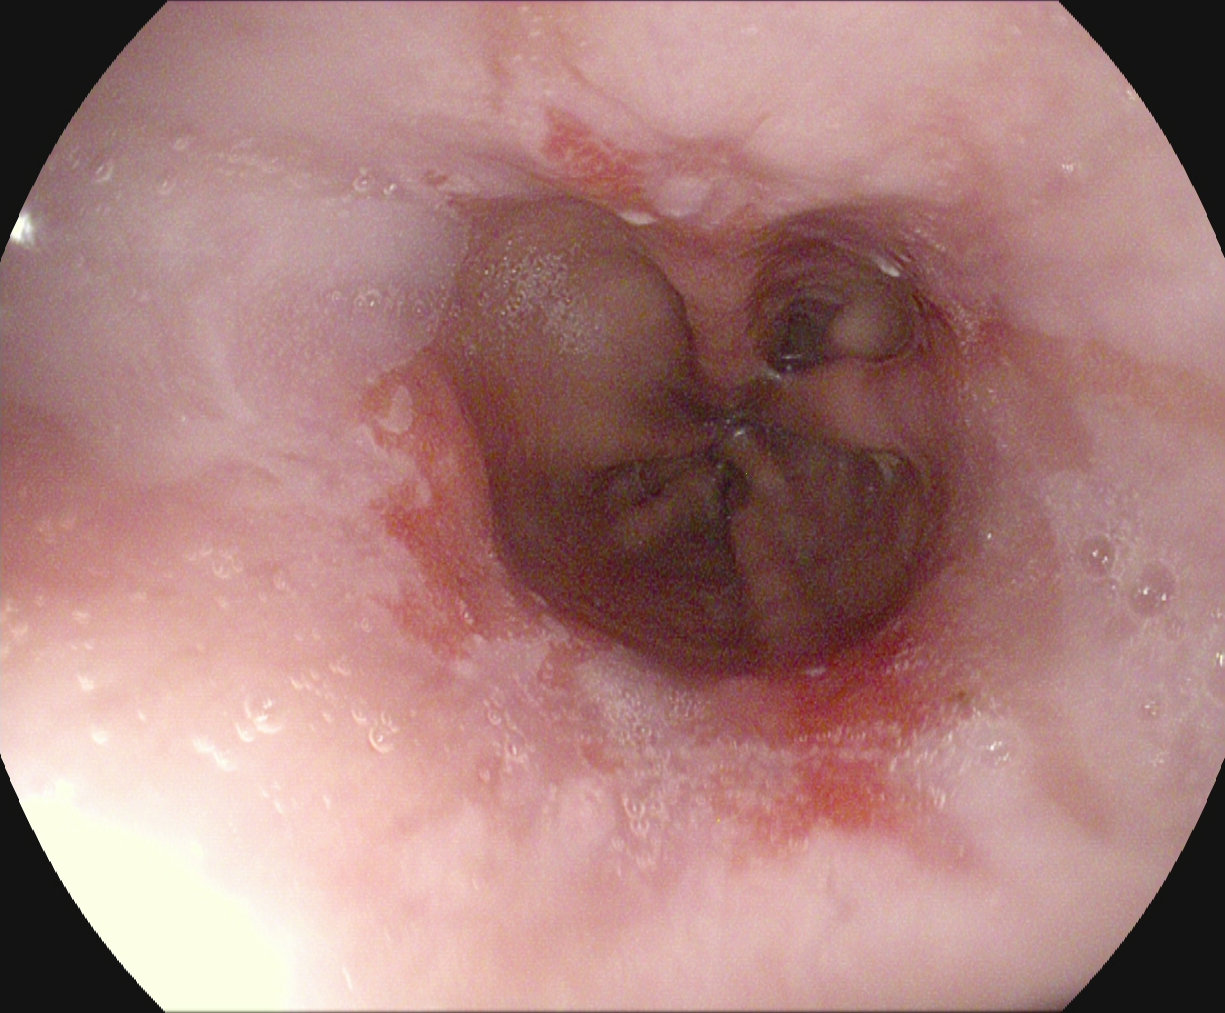Endoscopic image showing reflux esophagitis, Los Angeles grade A.